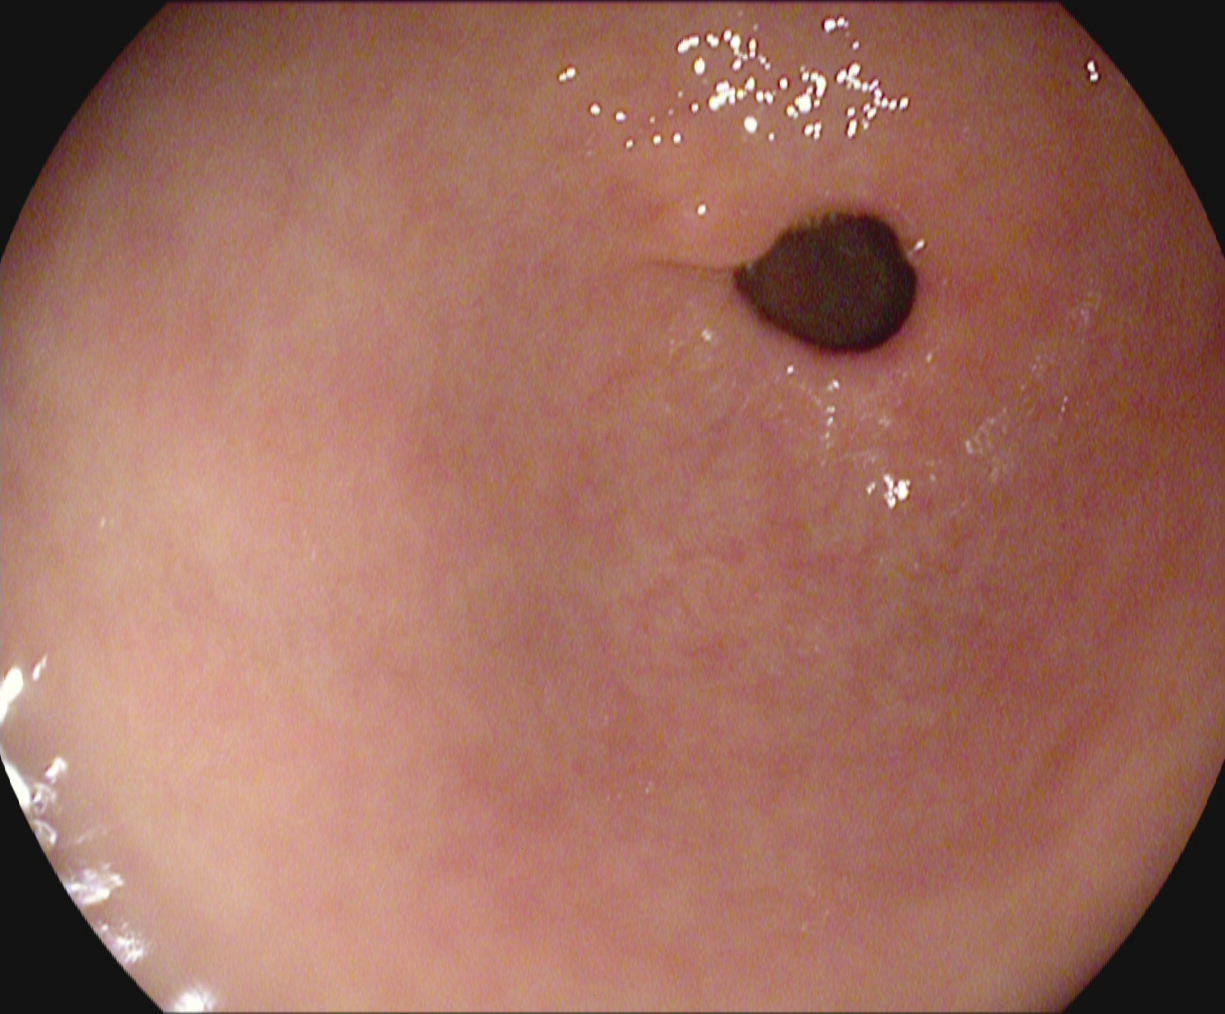modality: EGD; tract: upper GI tract; category: anatomical landmark; finding: pylorus